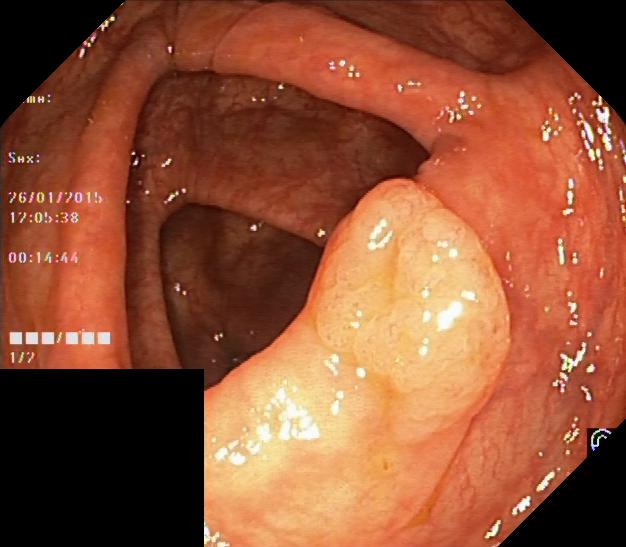Lower-GI endoscopy. Tract: lower GI tract. Finding: colorectal polyp(s).